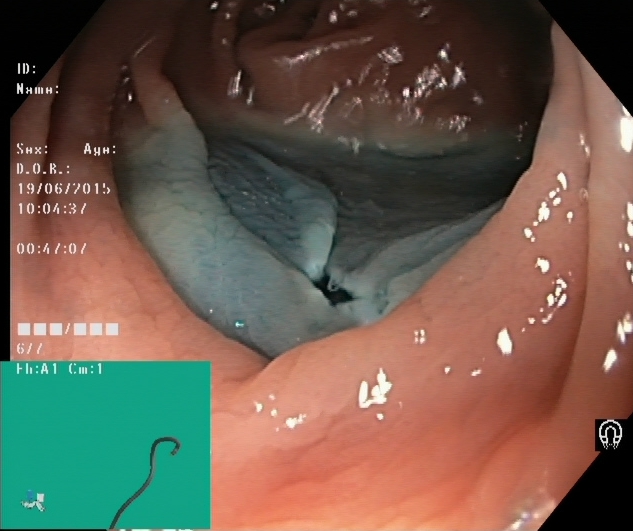Colonoscopy. Finding: dyed resection margins (post-polypectomy).